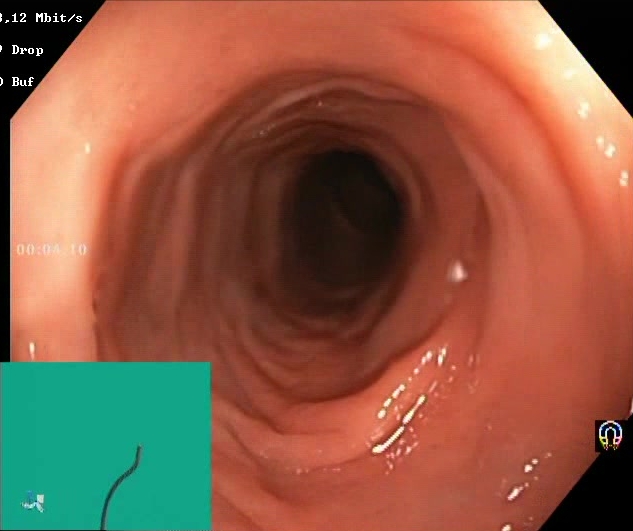Lower gastrointestinal endoscopy. Tract: lower GI tract. Finding: Boston Bowel Preparation Scale score 2–3 (adequate preparation).